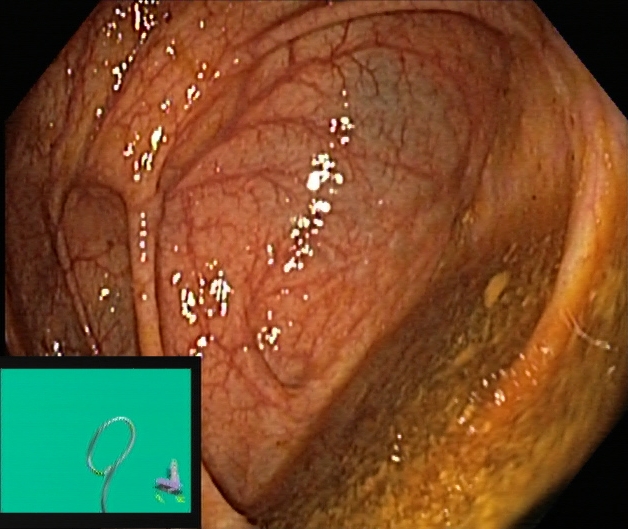cecum.